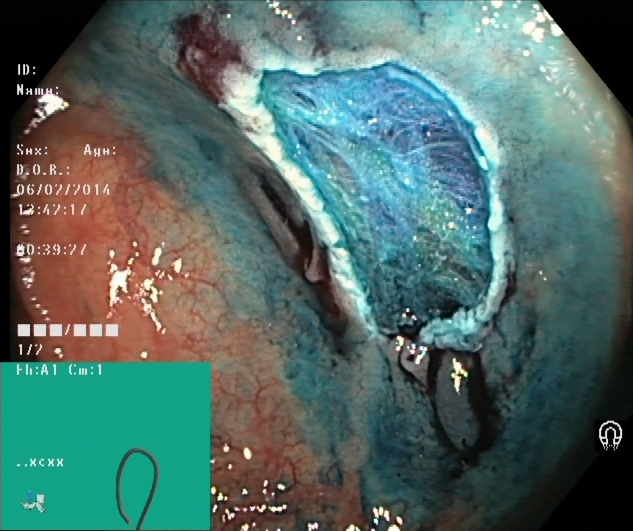Endoscopic image showing dyed resection margins (post-polypectomy).